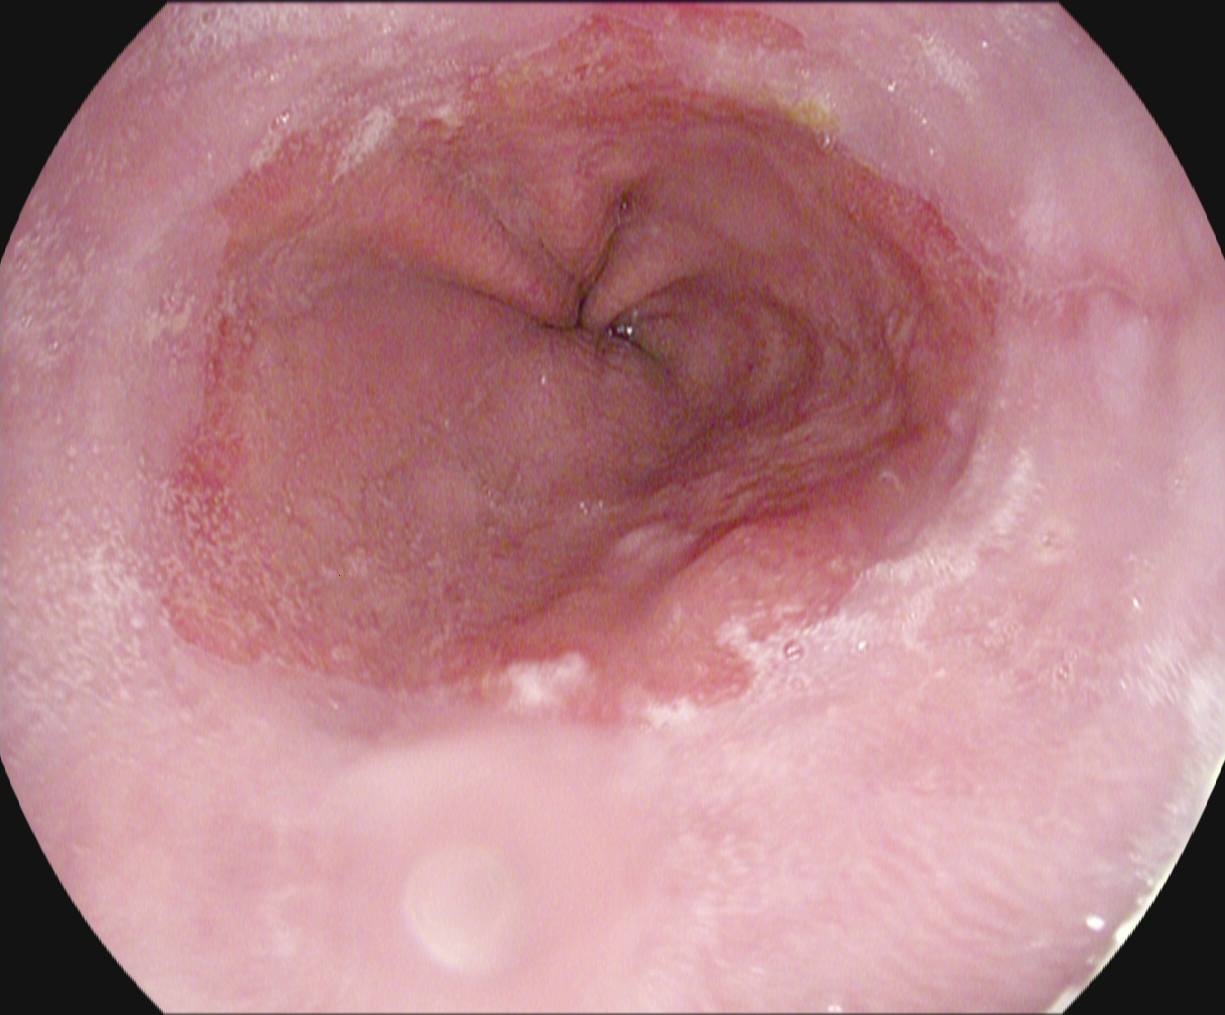EGD. Tract: upper GI tract. Pathological finding. Finding: reflux esophagitis, Los Angeles grade A.